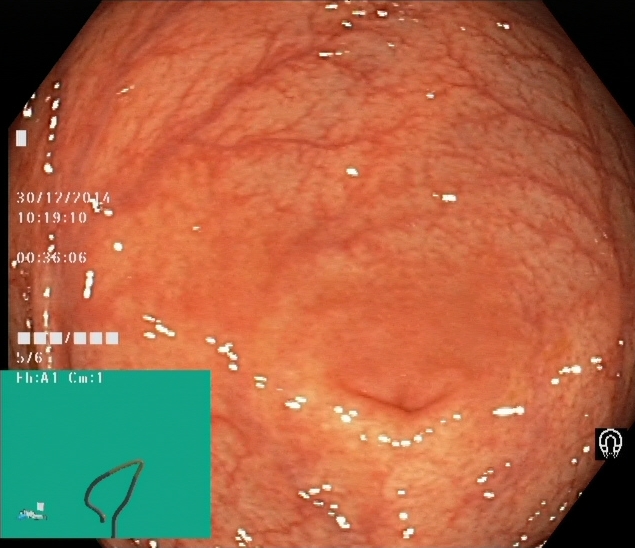Lower gastrointestinal endoscopy — cecum.